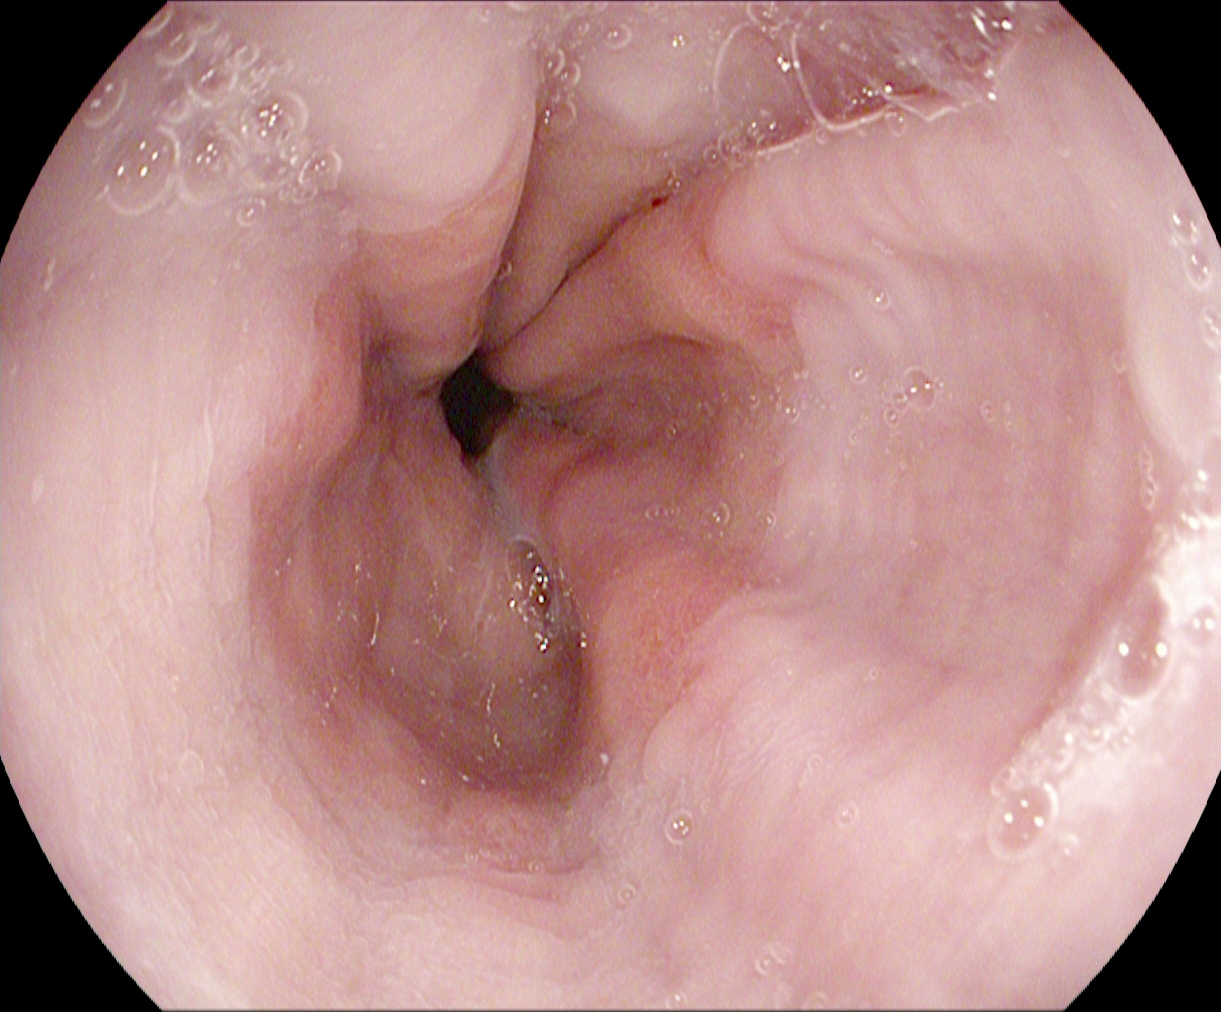{"modality": "EGD", "tract": "upper GI tract", "finding": "Z-line (gastroesophageal junction)"}